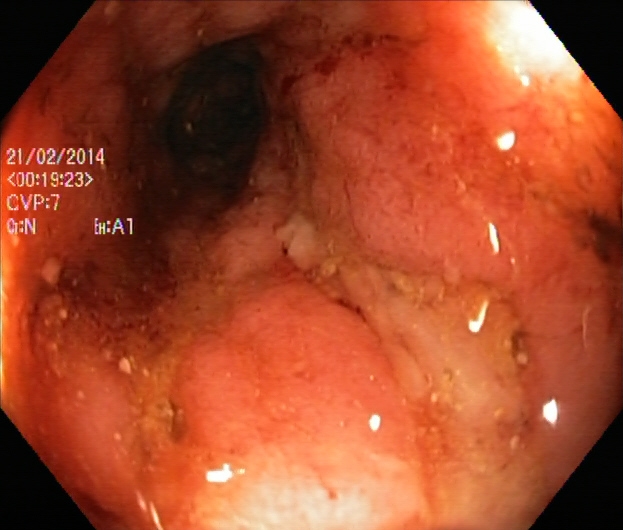Ulcerative colitis, Mayo endoscopic subscore 2.